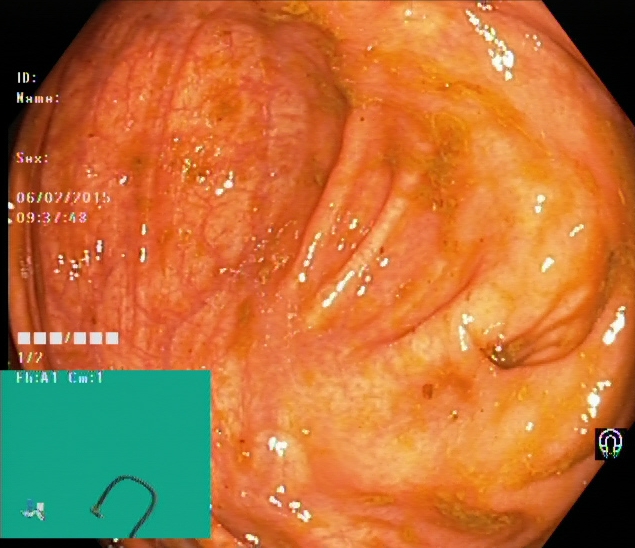PROCEDURE: Lower-GI endoscopy.
FINDINGS: Cecum.